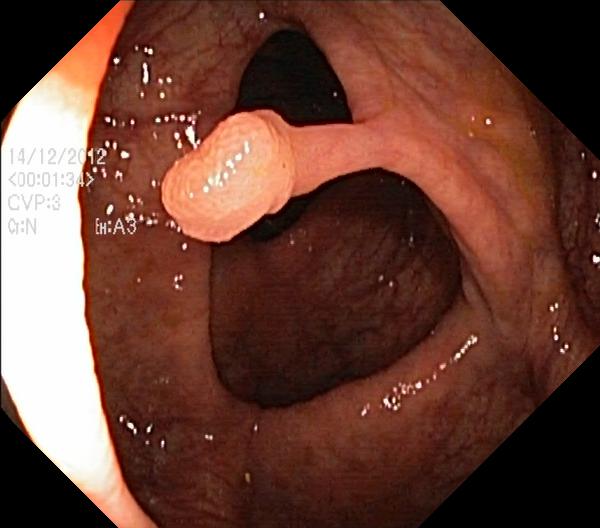Lower gastrointestinal endoscopy. Tract: lower GI tract. Pathological finding. Finding: colorectal polyp(s).